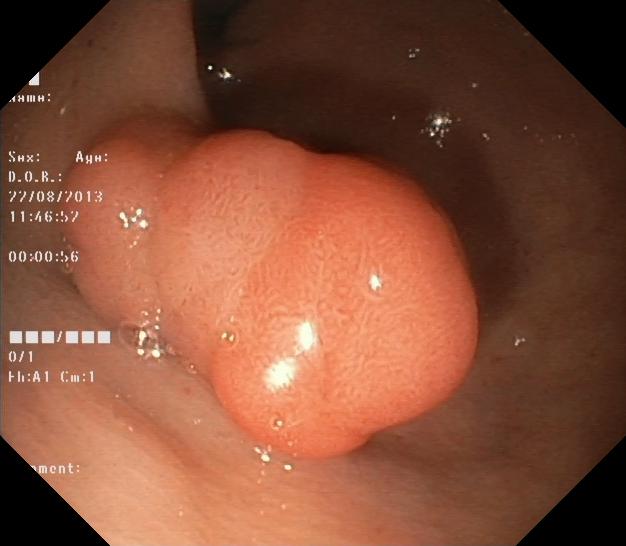Lower gastrointestinal endoscopy. Tract: lower GI tract. Finding: colorectal polyp(s).